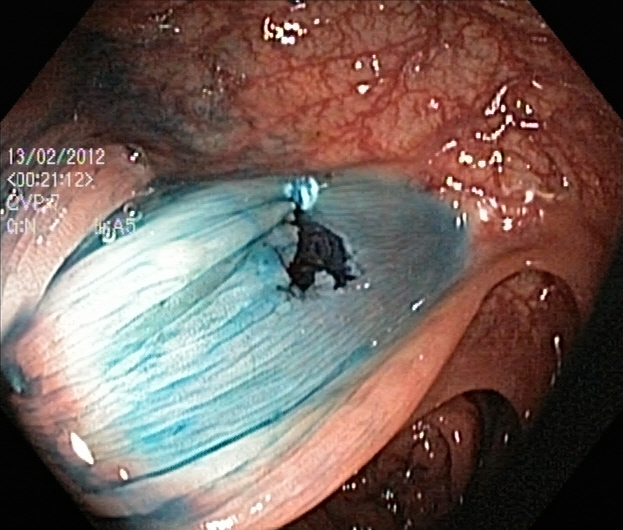modality: colonoscopy | tract: lower GI tract | finding: dyed resection margins (post-polypectomy)